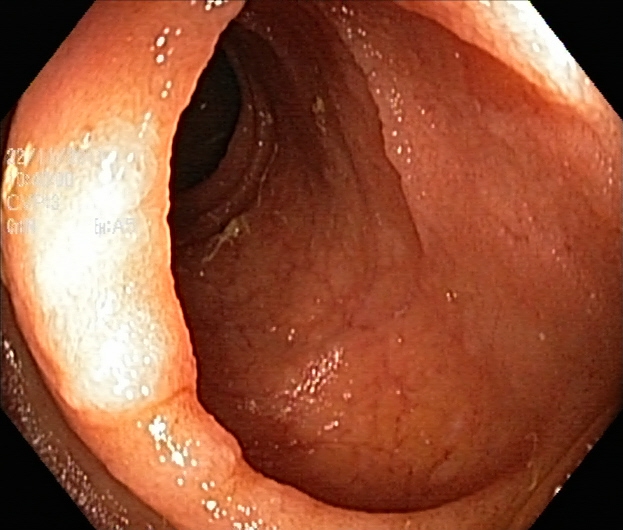{"modality": "colonoscopy", "category": "pathological finding", "finding": "UC, Mayo endoscopic subscore 1\u20132"}